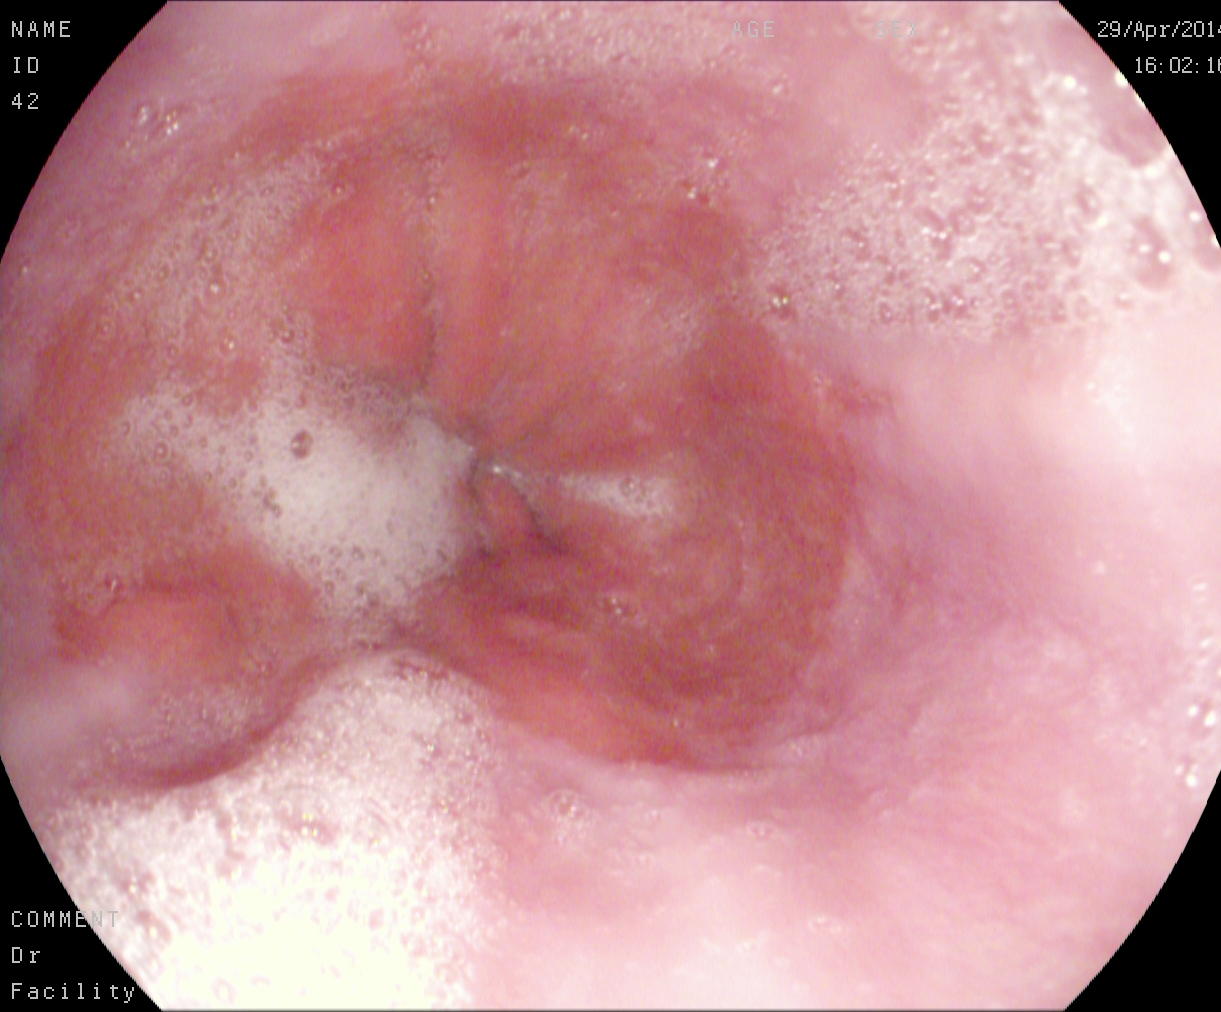PROCEDURE: Esophagogastroduodenoscopy.
FINDINGS: Reflux esophagitis, LA grade A.